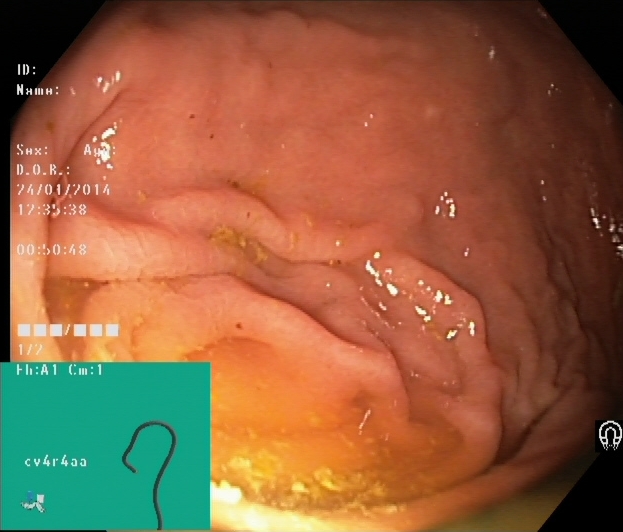Endoscopy image of the lower GI tract showing cecum.